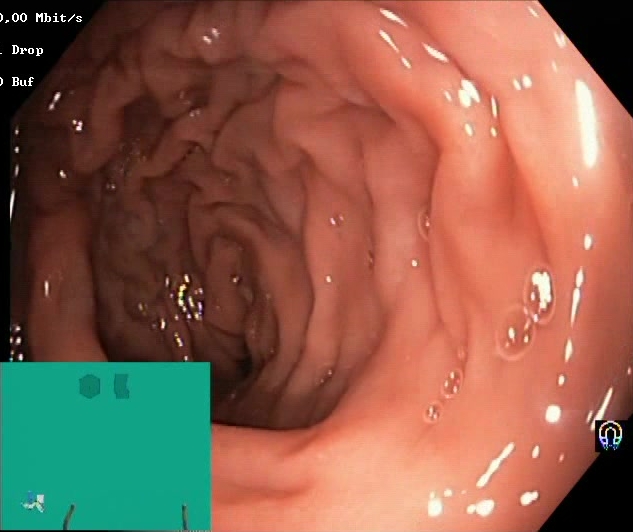Lower gastrointestinal endoscopy. Tract: lower GI tract. Finding: BBPS score 2–3 (adequate preparation).